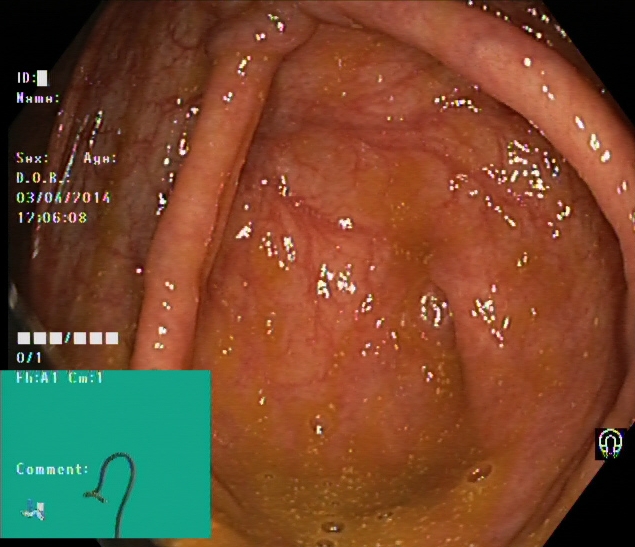Colonoscopy — cecum.